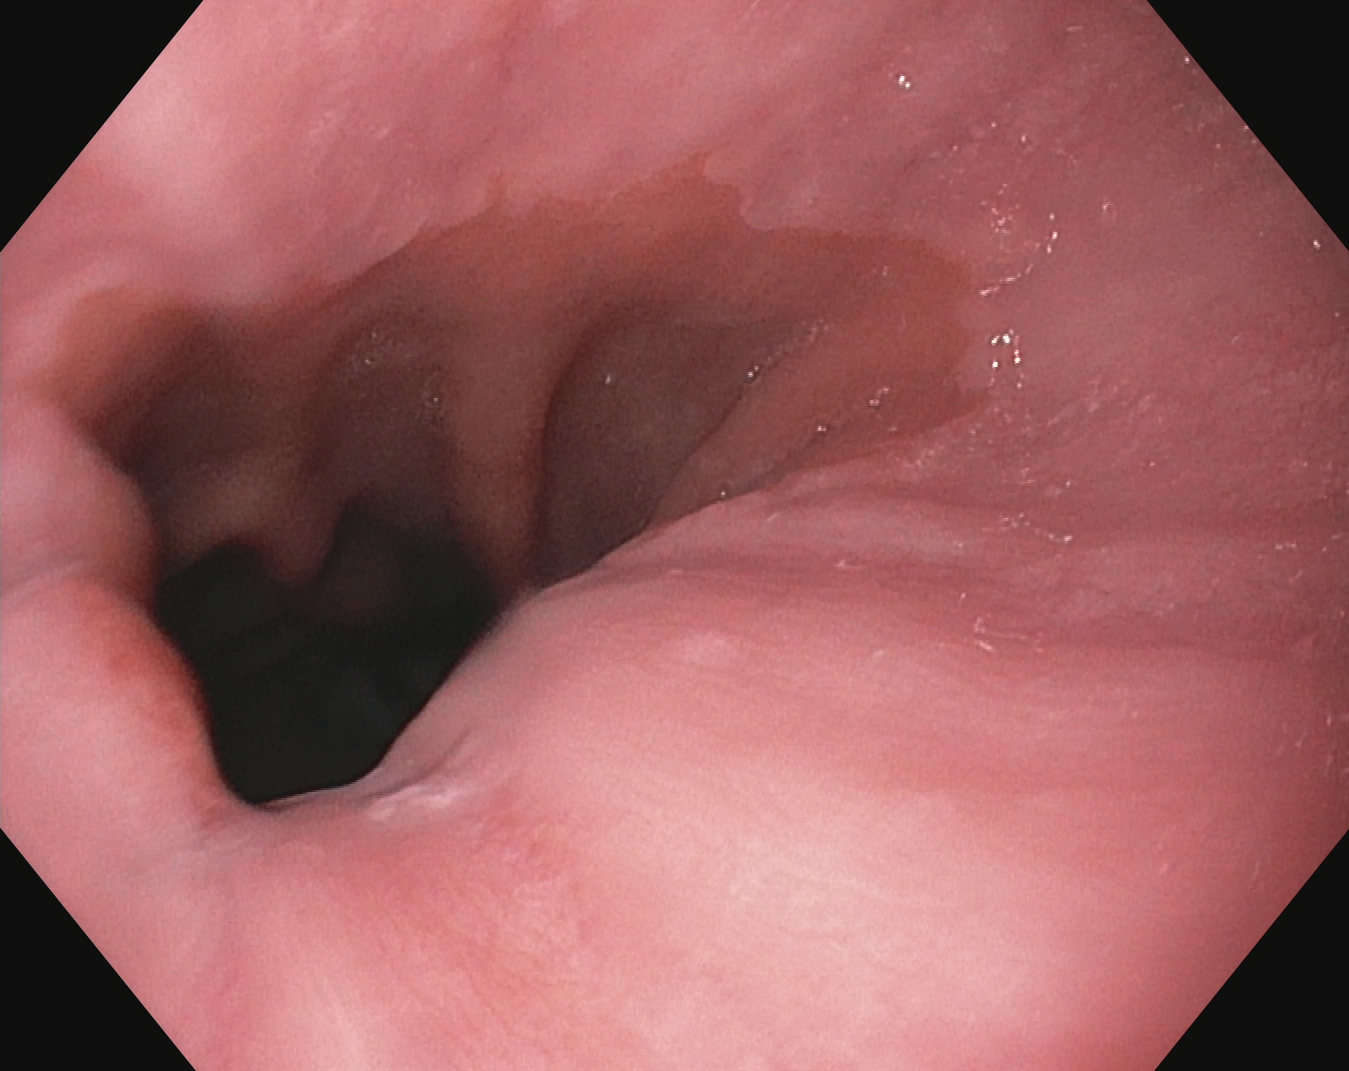Gastroscopy — Z-line (gastroesophageal junction).